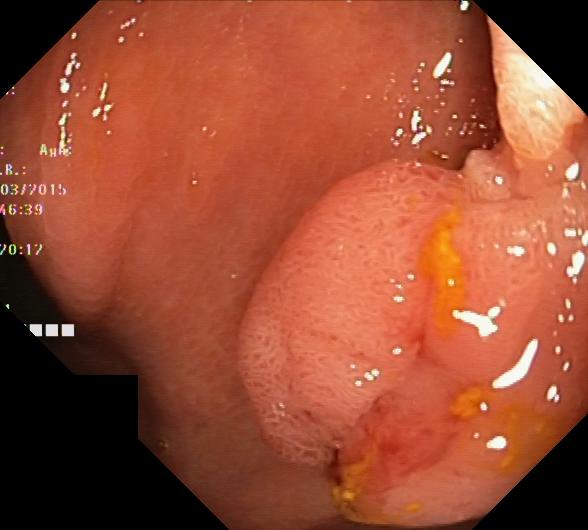PROCEDURE: Lower-GI endoscopy.
CATEGORY: Pathological finding.
FINDINGS: Colorectal polyp(s).